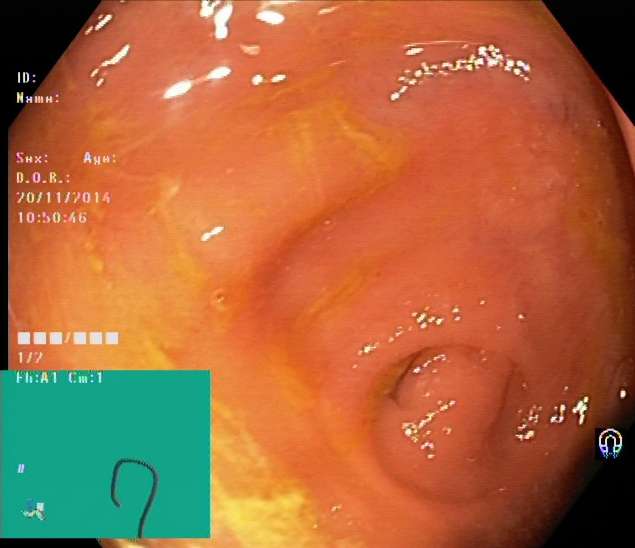Colonoscopy — cecum.